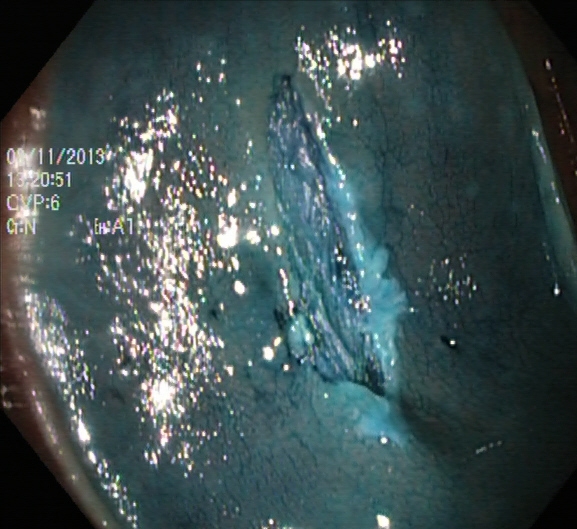This endoscopy frame of the lower GI tract shows dyed resection margins (post-polypectomy).